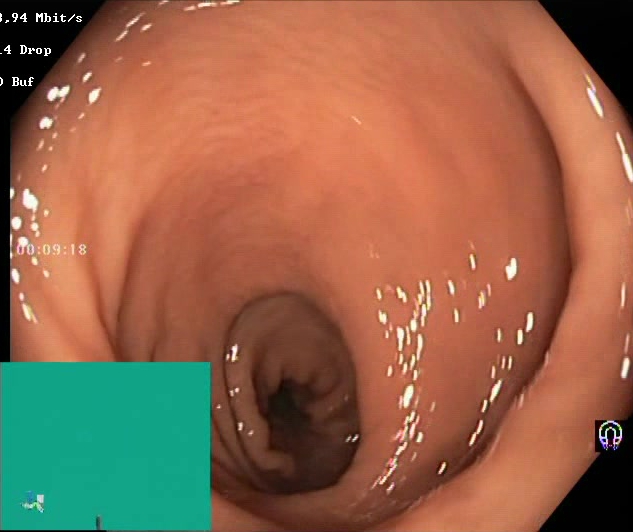PROCEDURE: Colonoscopy.
FINDINGS: Boston Bowel Preparation Scale score 2–3 (adequate preparation).